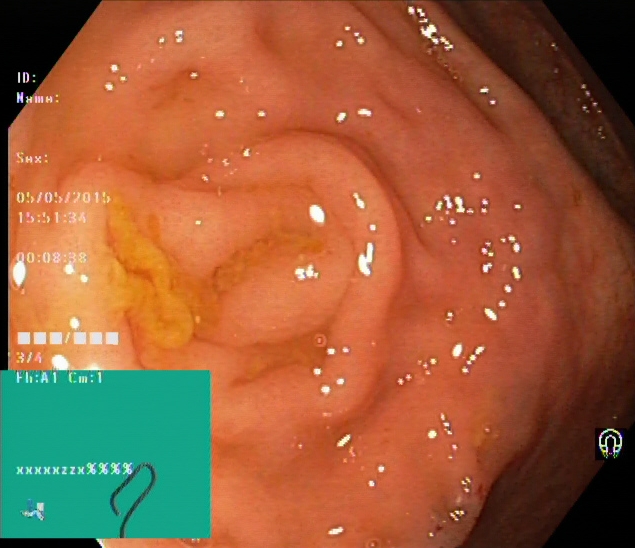modality: colonoscopy; category: anatomical landmark; finding: cecum